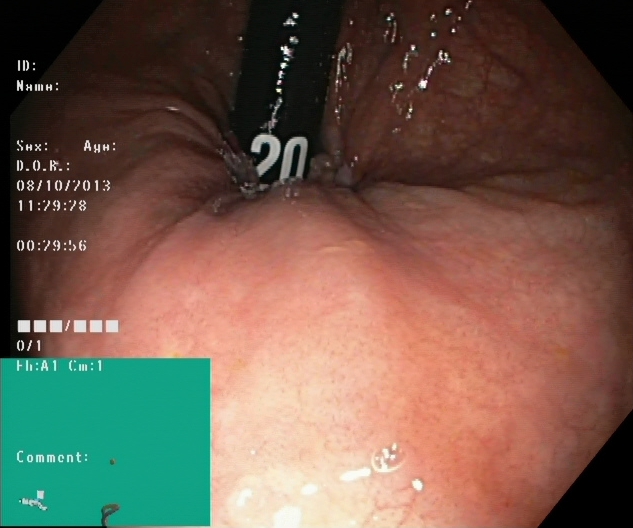Rectum in retroflexion.